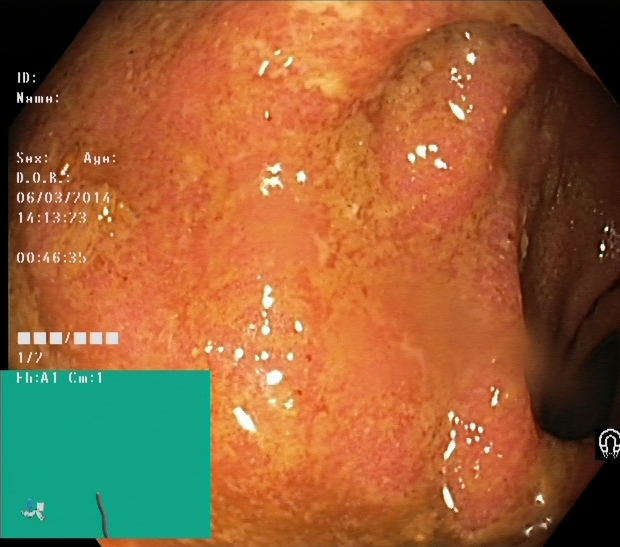Lower-GI endoscopy — ulcerative colitis, Mayo endoscopic subscore 1.